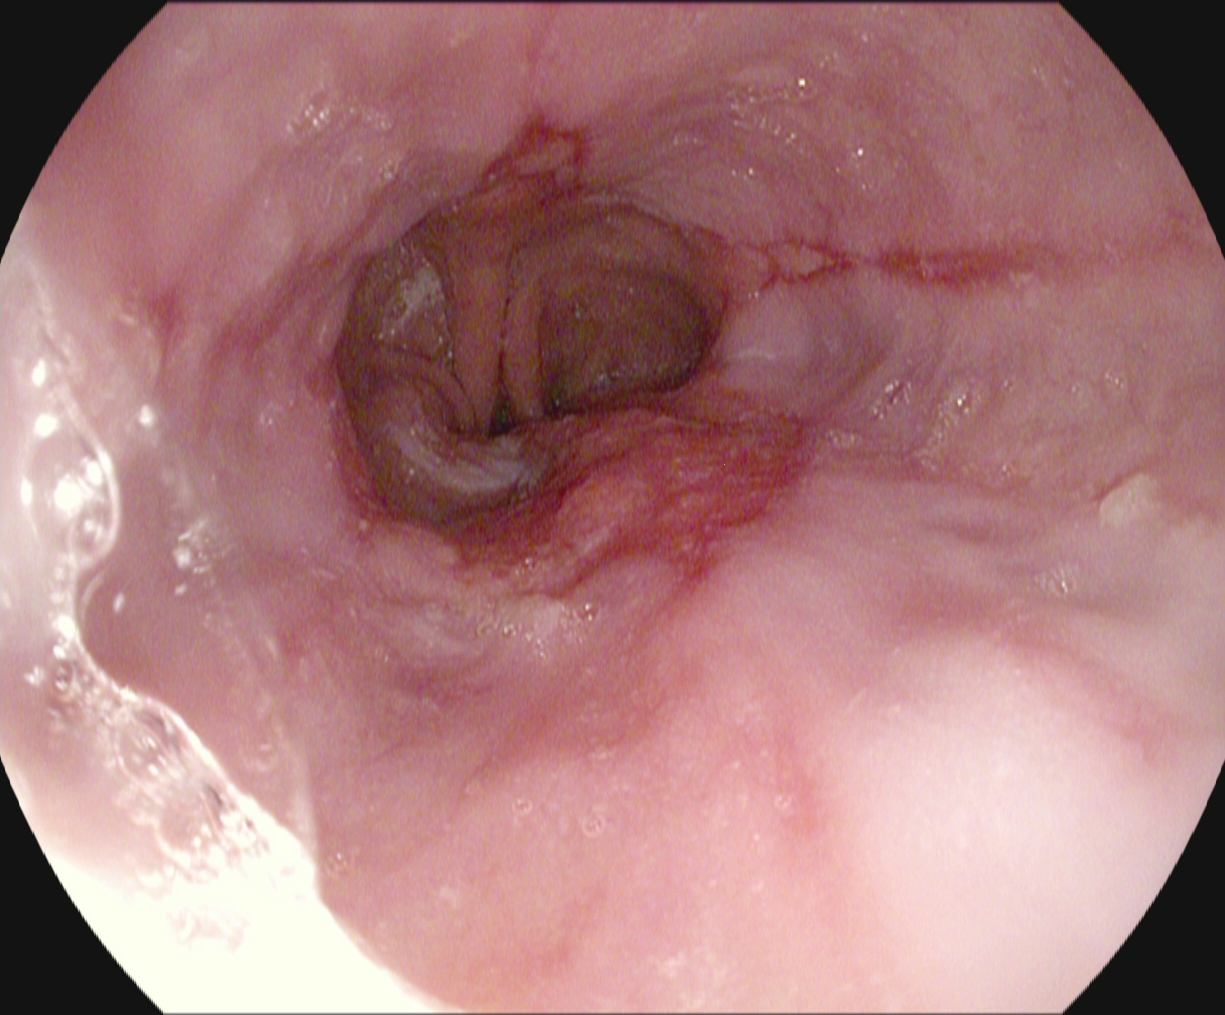PROCEDURE: Esophagogastroduodenoscopy.
FINDINGS: Reflux esophagitis, Los Angeles grade B–D.